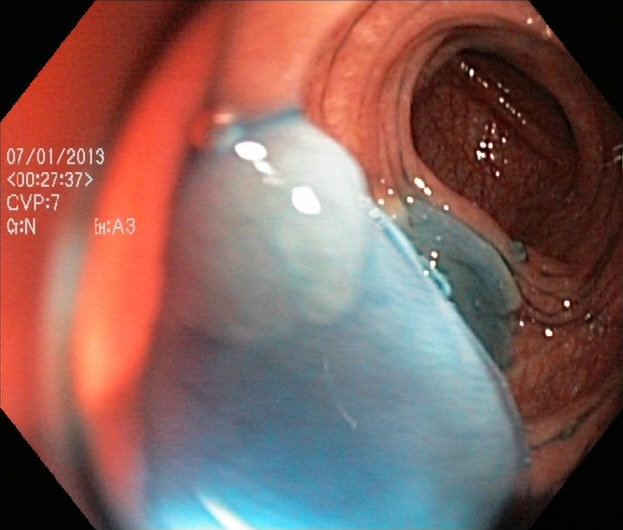Dyed and lifted polyp (pre-resection).